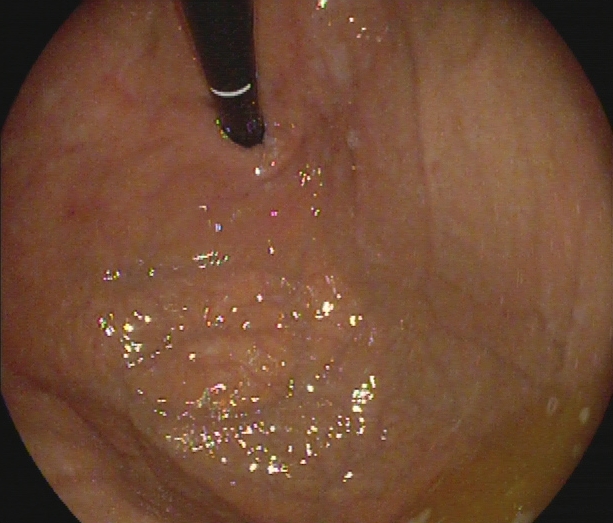Stomach in retroflexion.